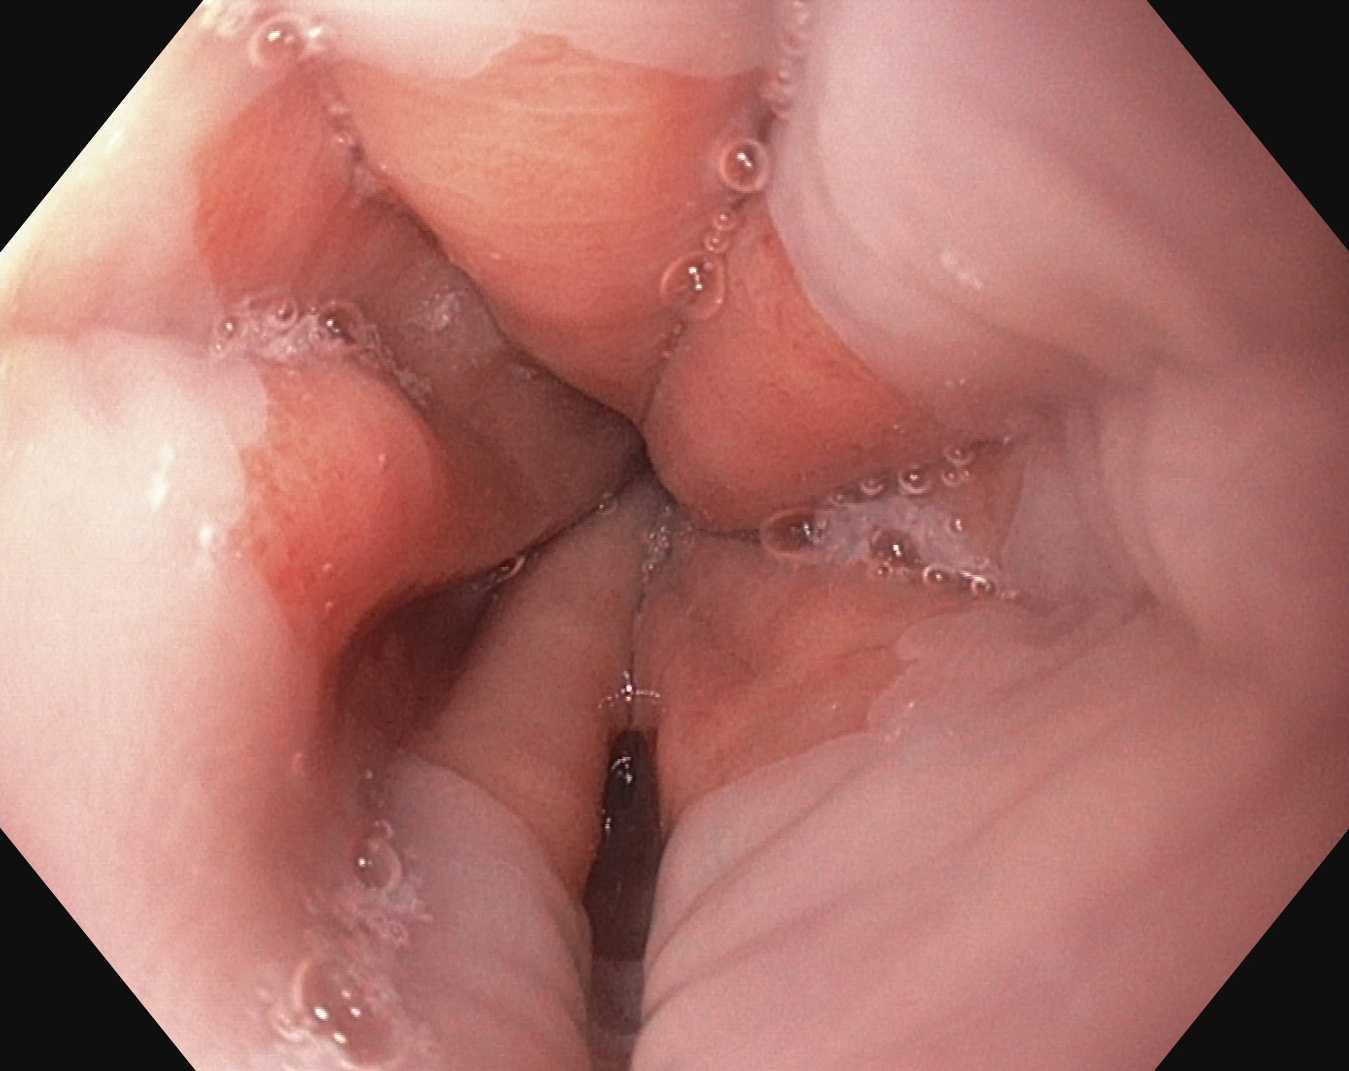Esophagogastroduodenoscopy. Anatomical landmark. Finding: Z-line (gastroesophageal junction).